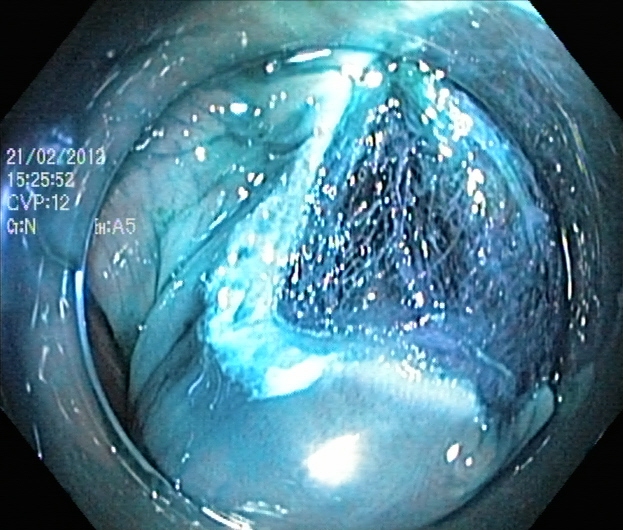Colonoscopy. Therapeutic intervention. Finding: dyed resection margins (post-polypectomy).